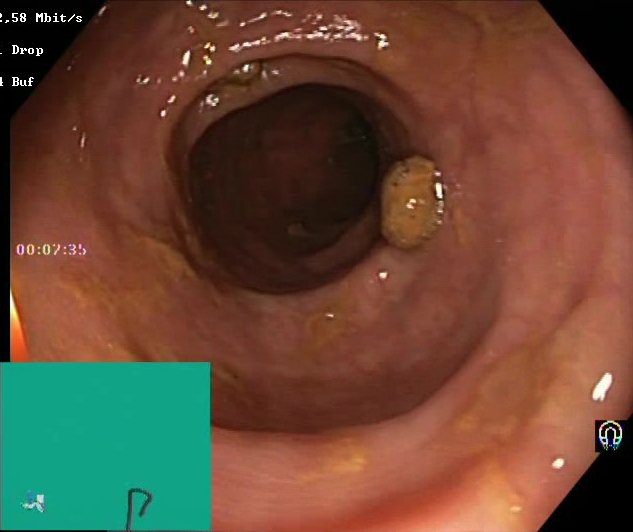Boston Bowel Preparation Scale score 2–3 (adequate preparation).